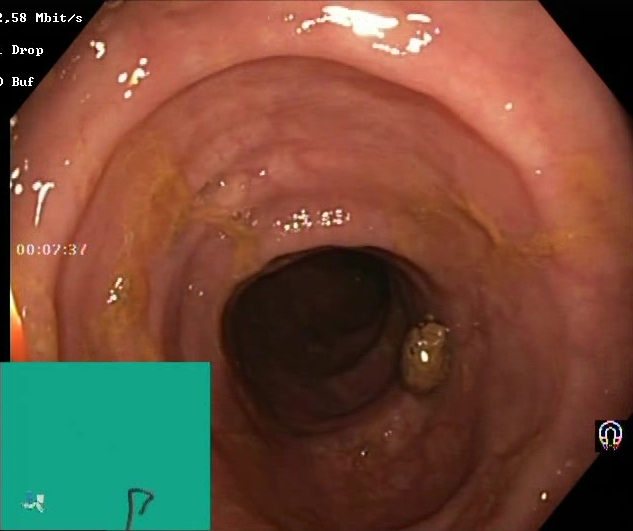Lower gastrointestinal endoscopy. Tract: lower GI tract. Mucosal-view quality. Finding: Boston Bowel Preparation Scale score 2–3 (adequate preparation).